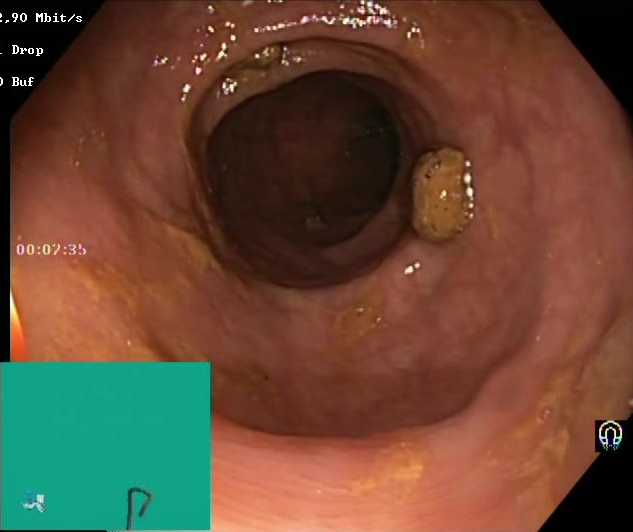modality: lower gastrointestinal endoscopy
tract: lower GI tract
category: mucosal-view quality
finding: BBPS score 0–1 (inadequate preparation)